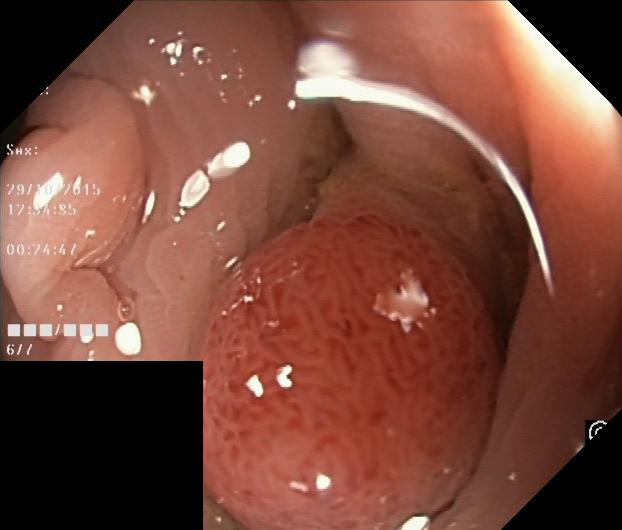This endoscopy frame of the lower GI tract shows colorectal polyp(s).